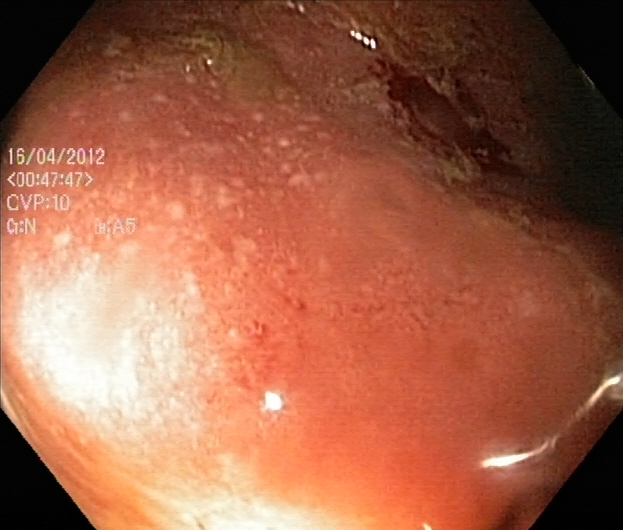ulcerative colitis, Mayo endoscopic subscore 2.